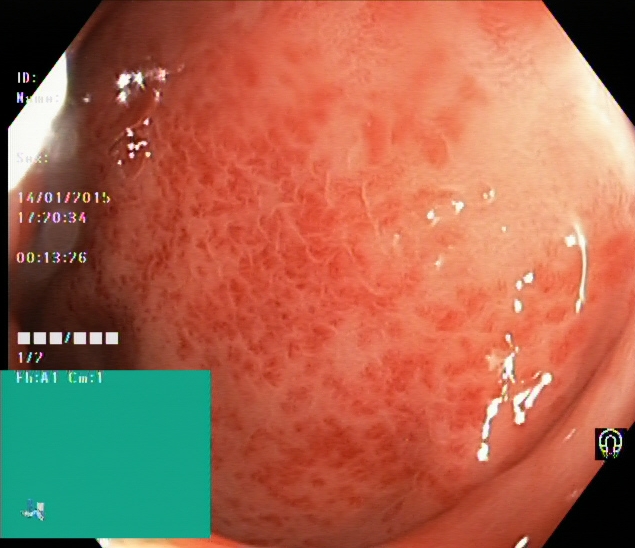Lower-GI endoscopy. Finding: ulcerative colitis, Mayo endoscopic subscore 2.